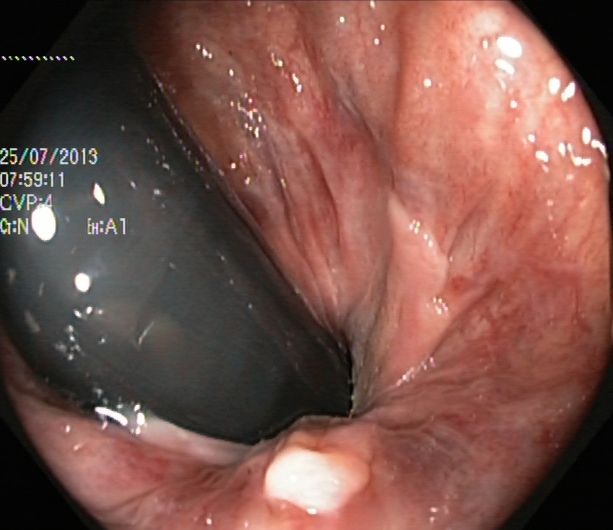Endoscopic image of the lower GI tract showing rectum in retroflexion.